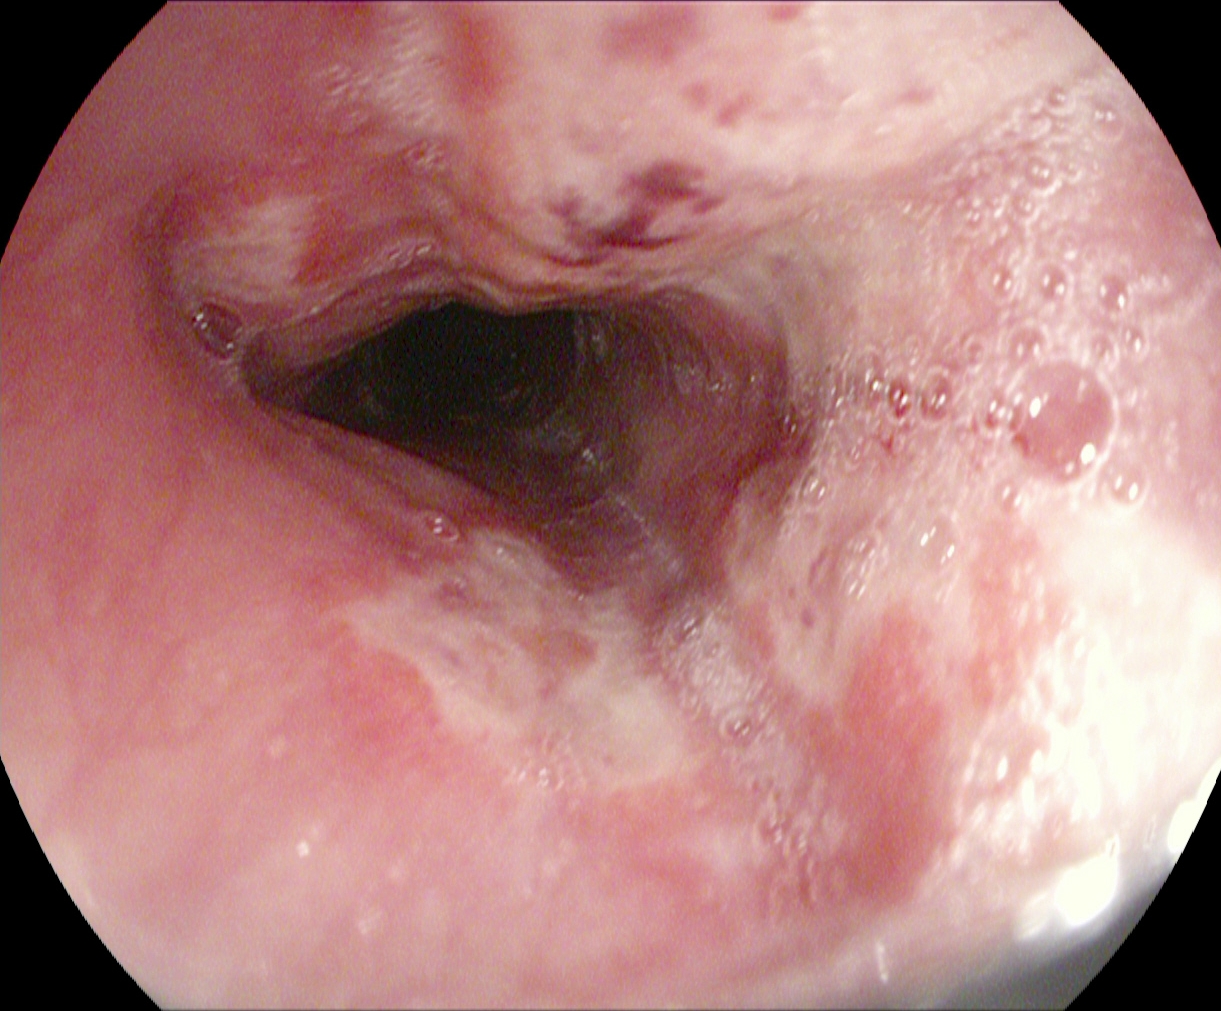PROCEDURE: Gastroscopy.
CATEGORY: Pathological finding.
FINDINGS: Reflux esophagitis, Los Angeles grade B–D.